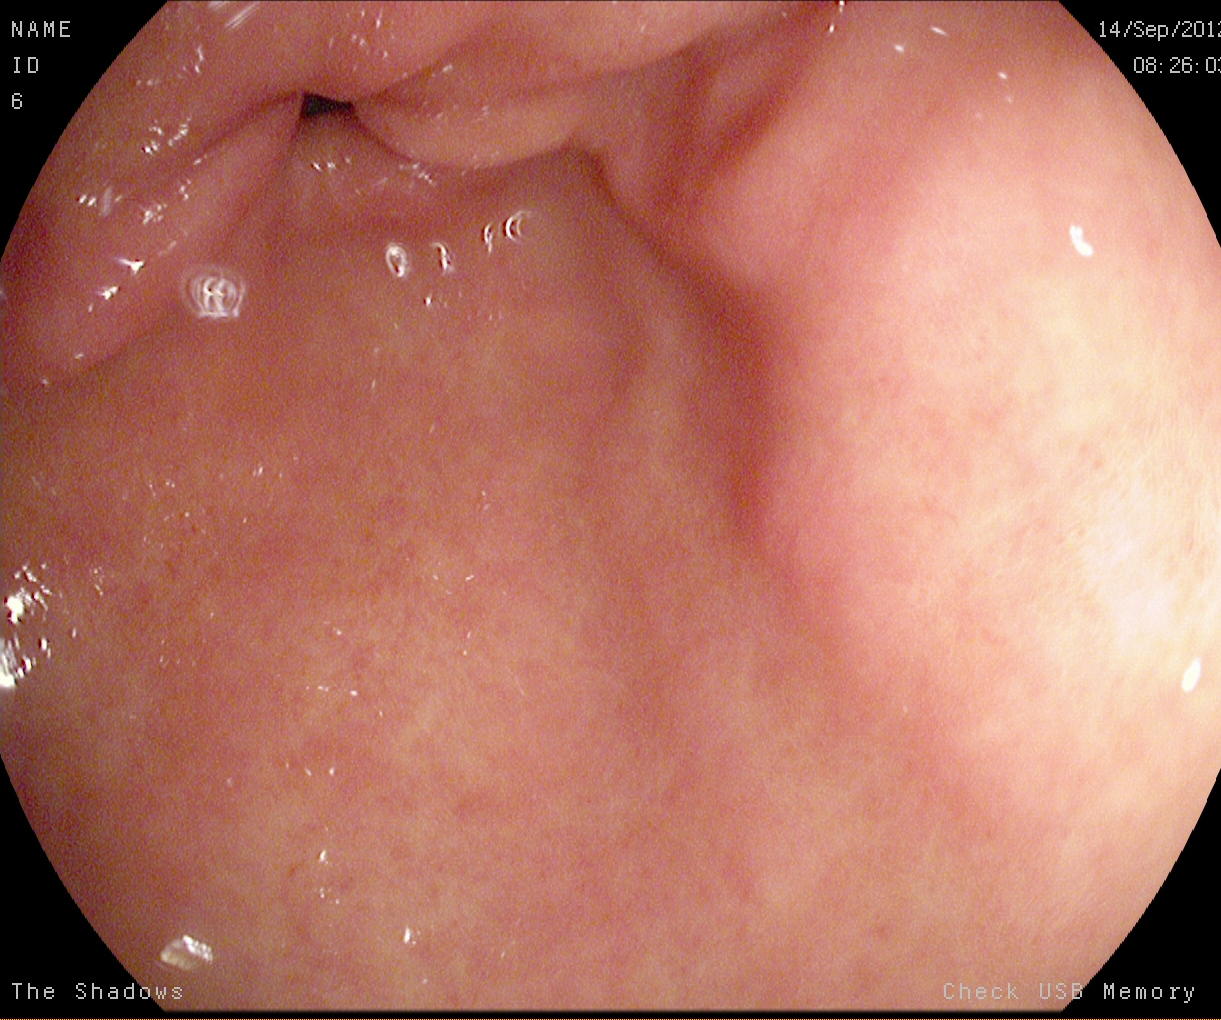modality: gastroscopy | finding: pylorus